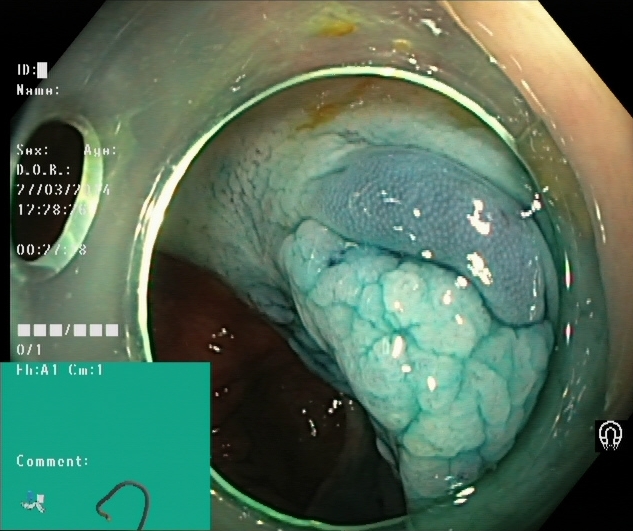Colonoscopy — dyed and lifted polyp (pre-resection).